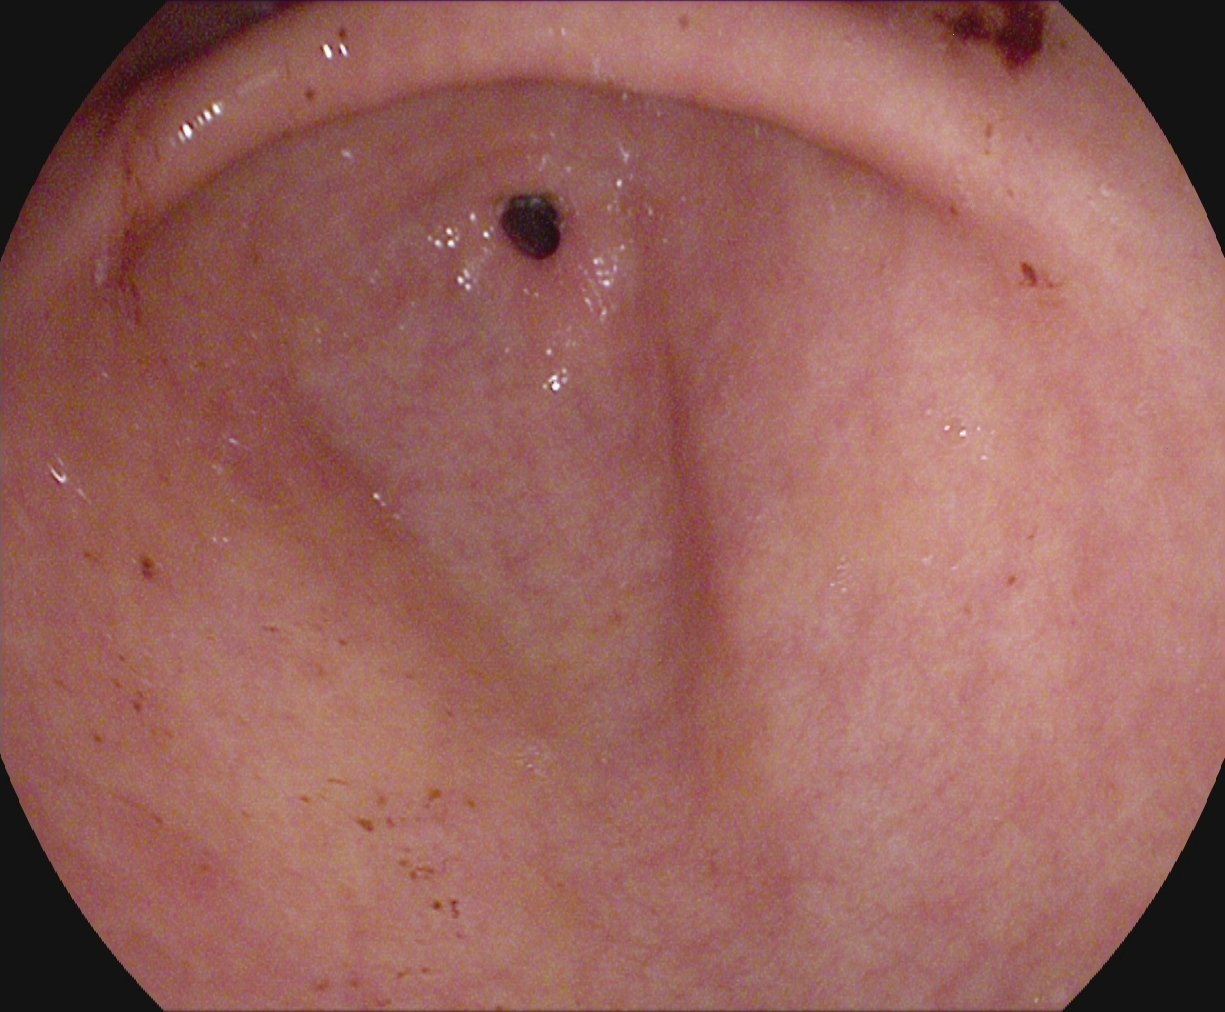Upper-GI endoscopy. Finding: pylorus.